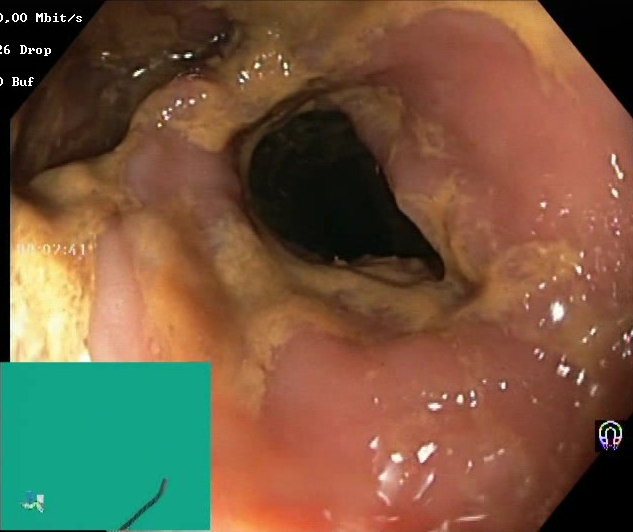PROCEDURE: Lower-GI endoscopy.
FINDINGS: BBPS score 0–1 (inadequate preparation).